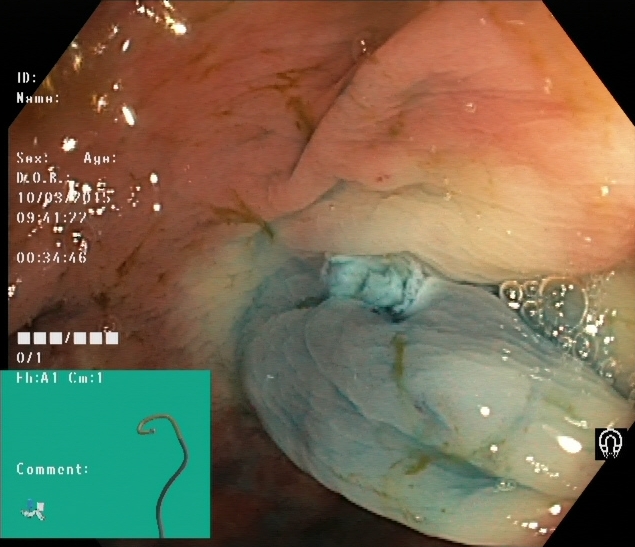{"modality": "lower gastrointestinal endoscopy", "finding": "dyed resection margins (post-polypectomy)"}